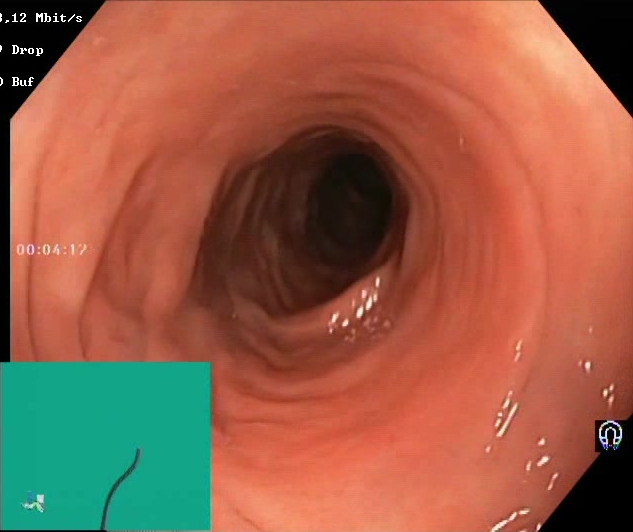modality: lower gastrointestinal endoscopy
tract: lower GI tract
category: mucosal-view quality
finding: BBPS score 2–3 (adequate preparation)